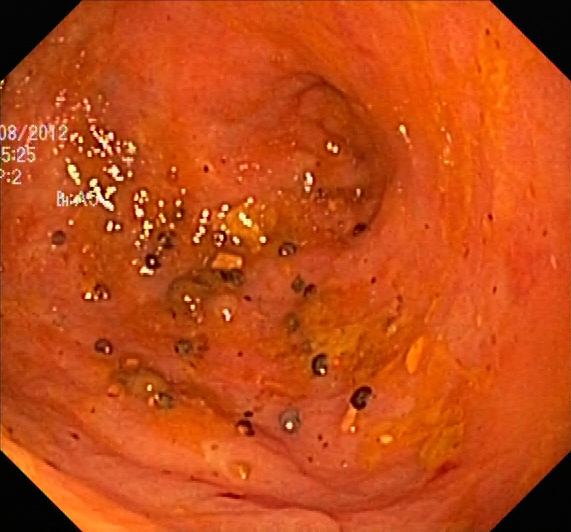This endoscopy frame of the lower GI tract shows ulcerative colitis, Mayo endoscopic subscore 2.